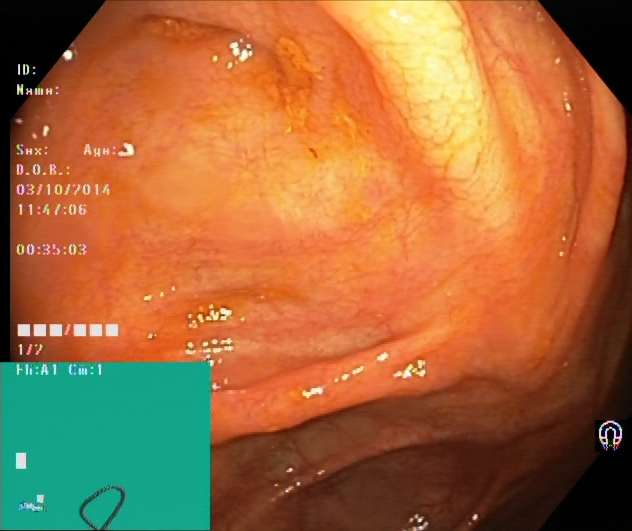Endoscopy image showing cecum.